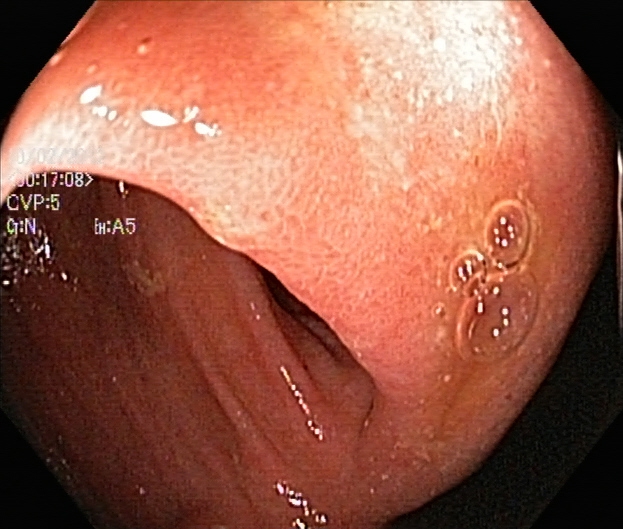PROCEDURE: Colonoscopy.
CATEGORY: Pathological finding.
FINDINGS: UC, Mayo endoscopic subscore 2.